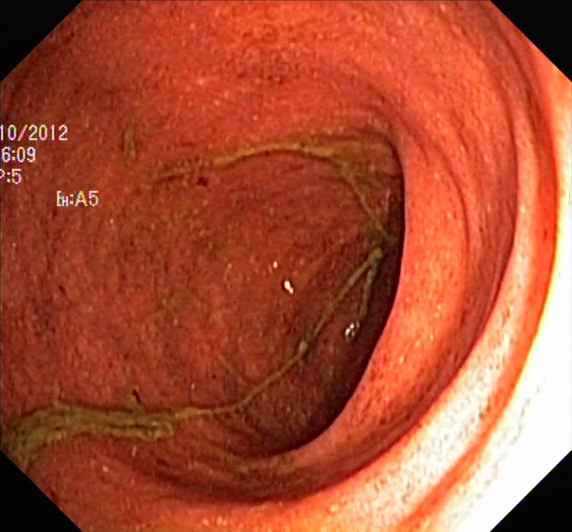{"modality": "colonoscopy", "category": "pathological finding", "finding": "ulcerative colitis, Mayo endoscopic subscore 2"}